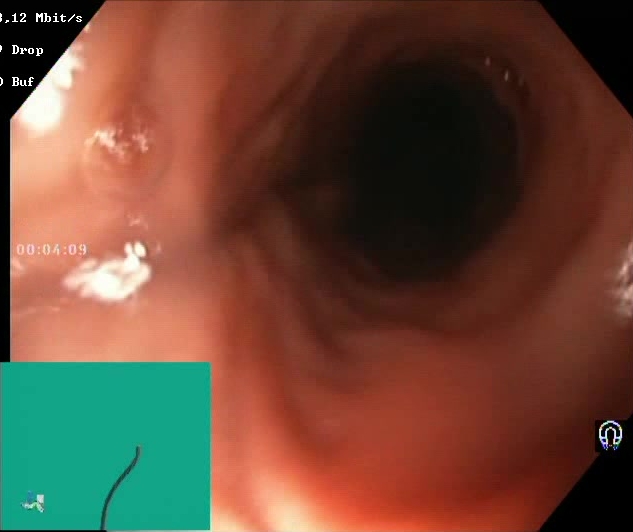{"modality": "lower-GI endoscopy", "tract": "lower GI tract", "finding": "BBPS score 2\u20133 (adequate preparation)"}